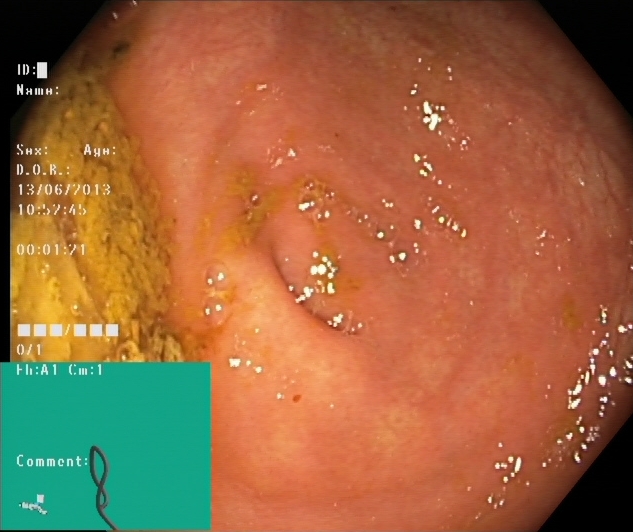PROCEDURE: Lower gastrointestinal endoscopy.
FINDINGS: Cecum.